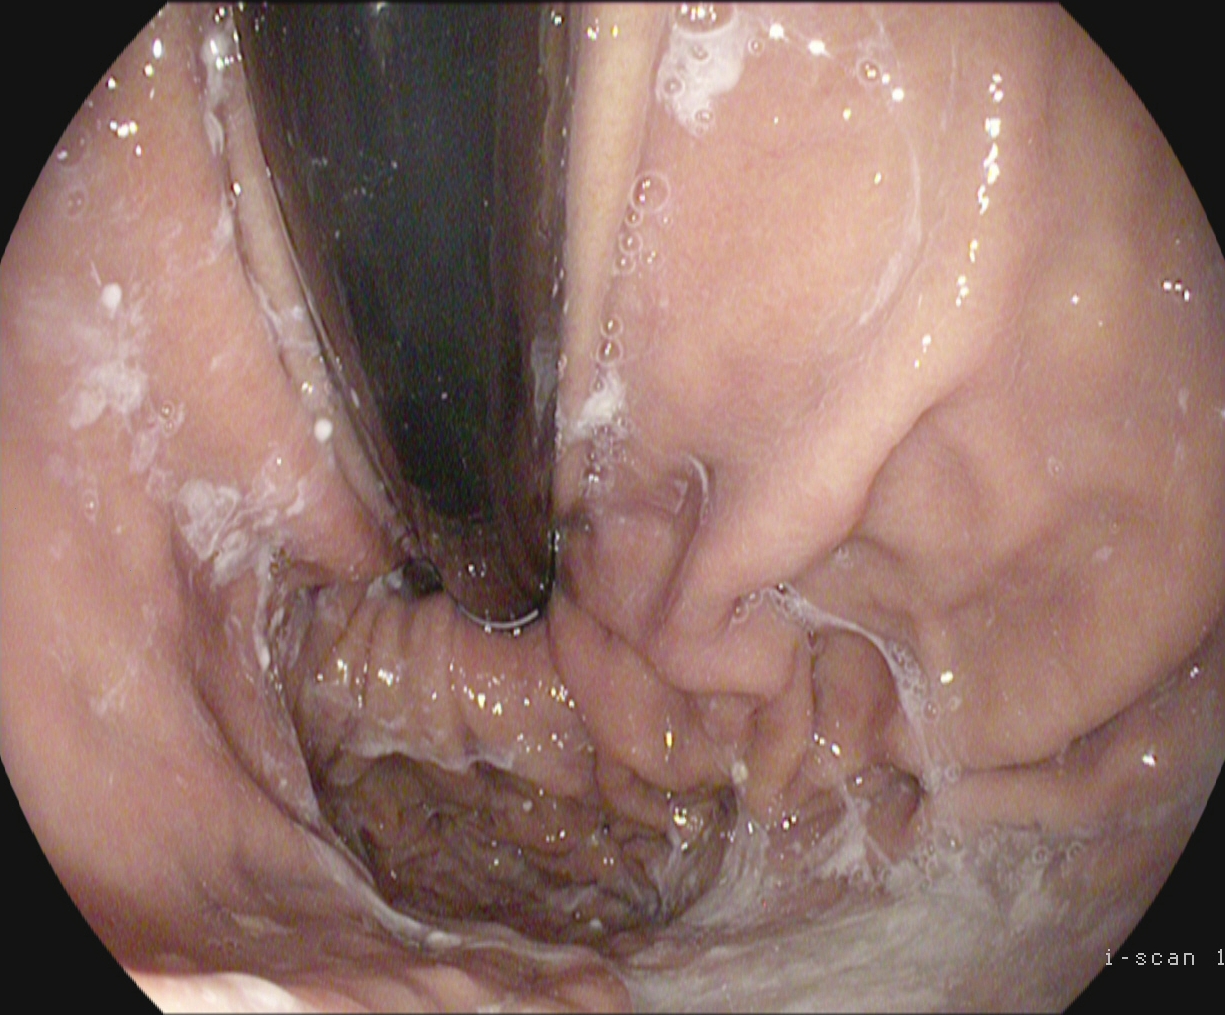{"modality": "EGD", "finding": "stomach in retroflexion"}